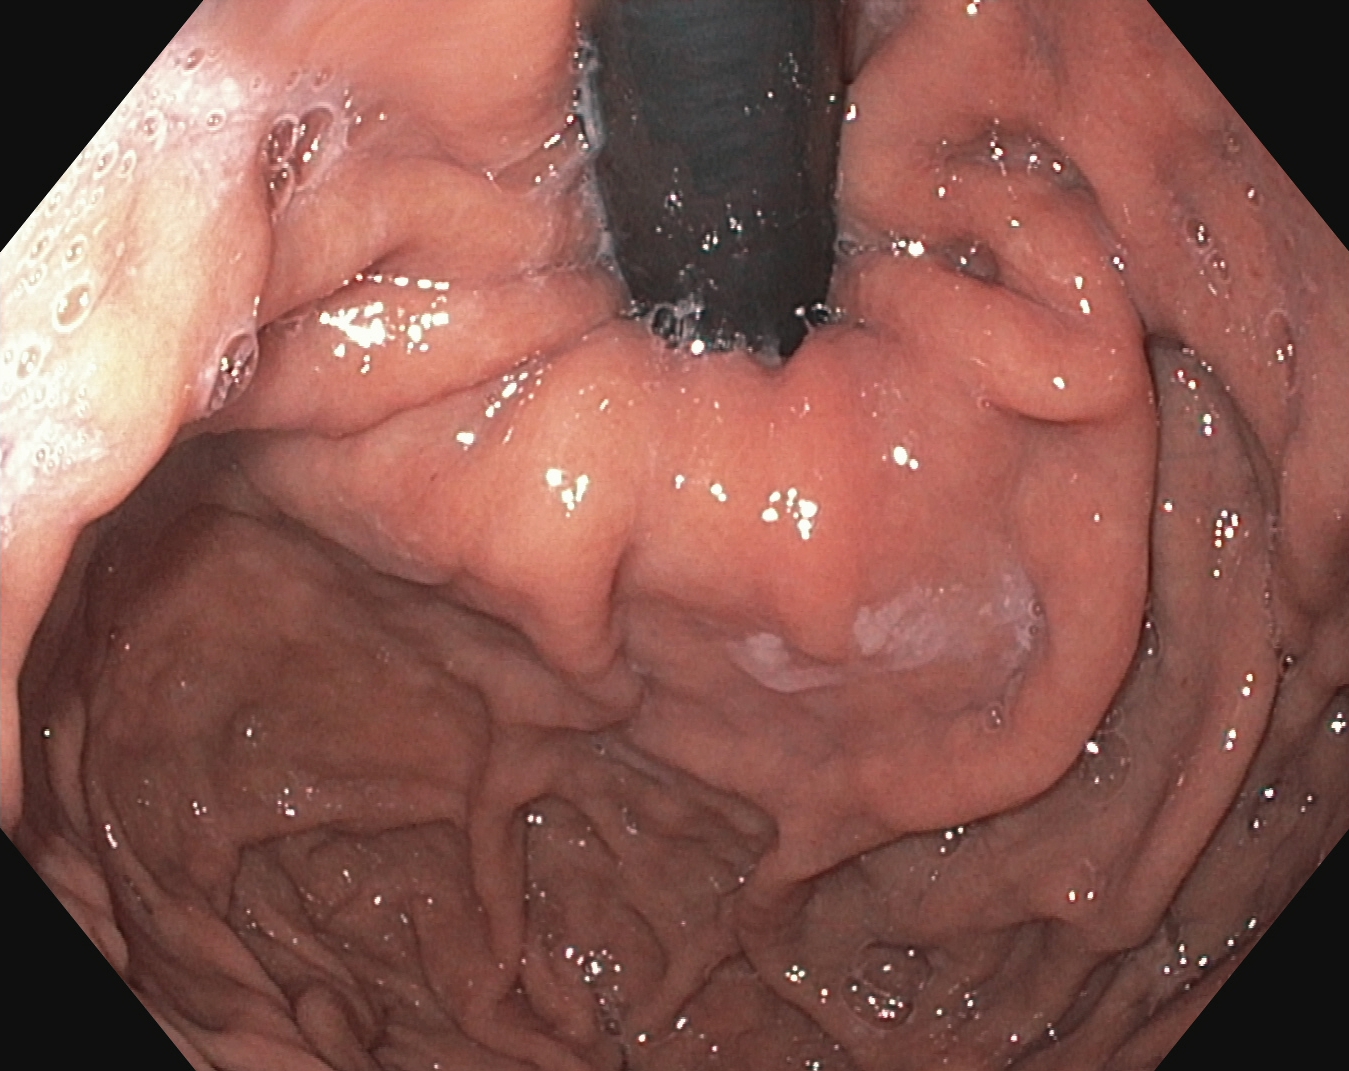PROCEDURE: EGD.
CATEGORY: Anatomical landmark.
FINDINGS: Stomach in retroflexion.